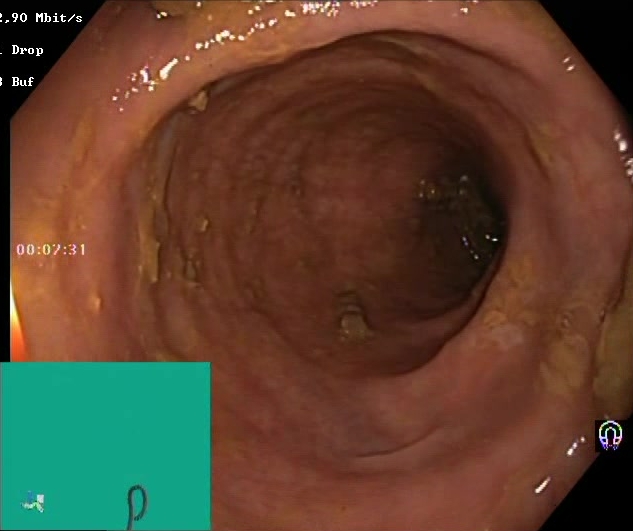Colonoscopy. Mucosal-view quality. Finding: Boston Bowel Preparation Scale score 2–3 (adequate preparation).